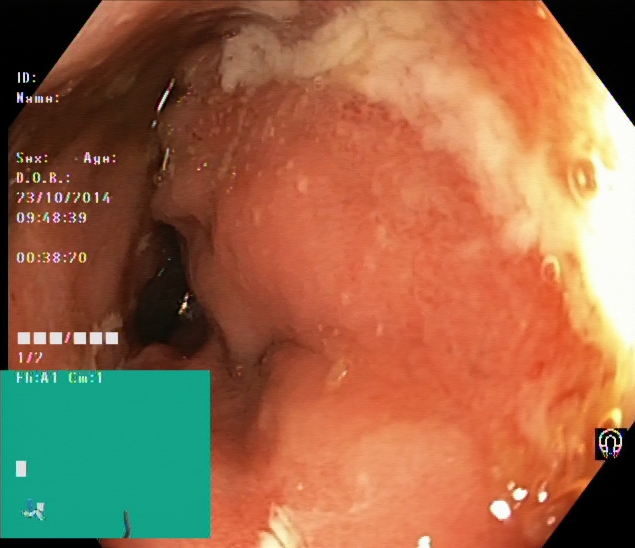{"modality": "colonoscopy", "finding": "ulcerative colitis, Mayo endoscopic subscore 2"}